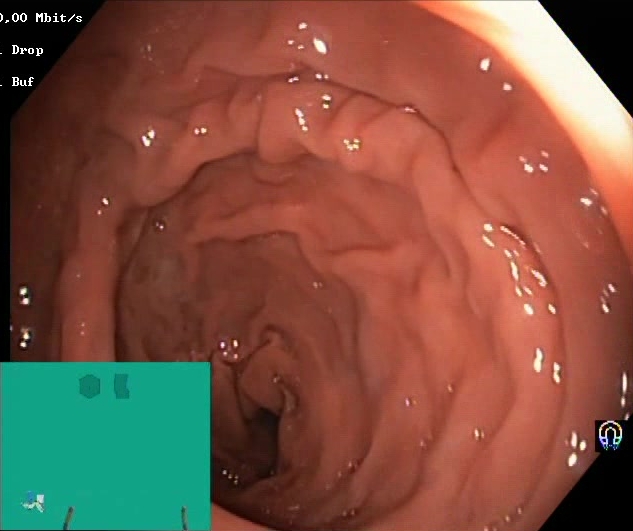{"modality": "colonoscopy", "tract": "lower GI tract", "finding": "BBPS score 2\u20133 (adequate preparation)"}